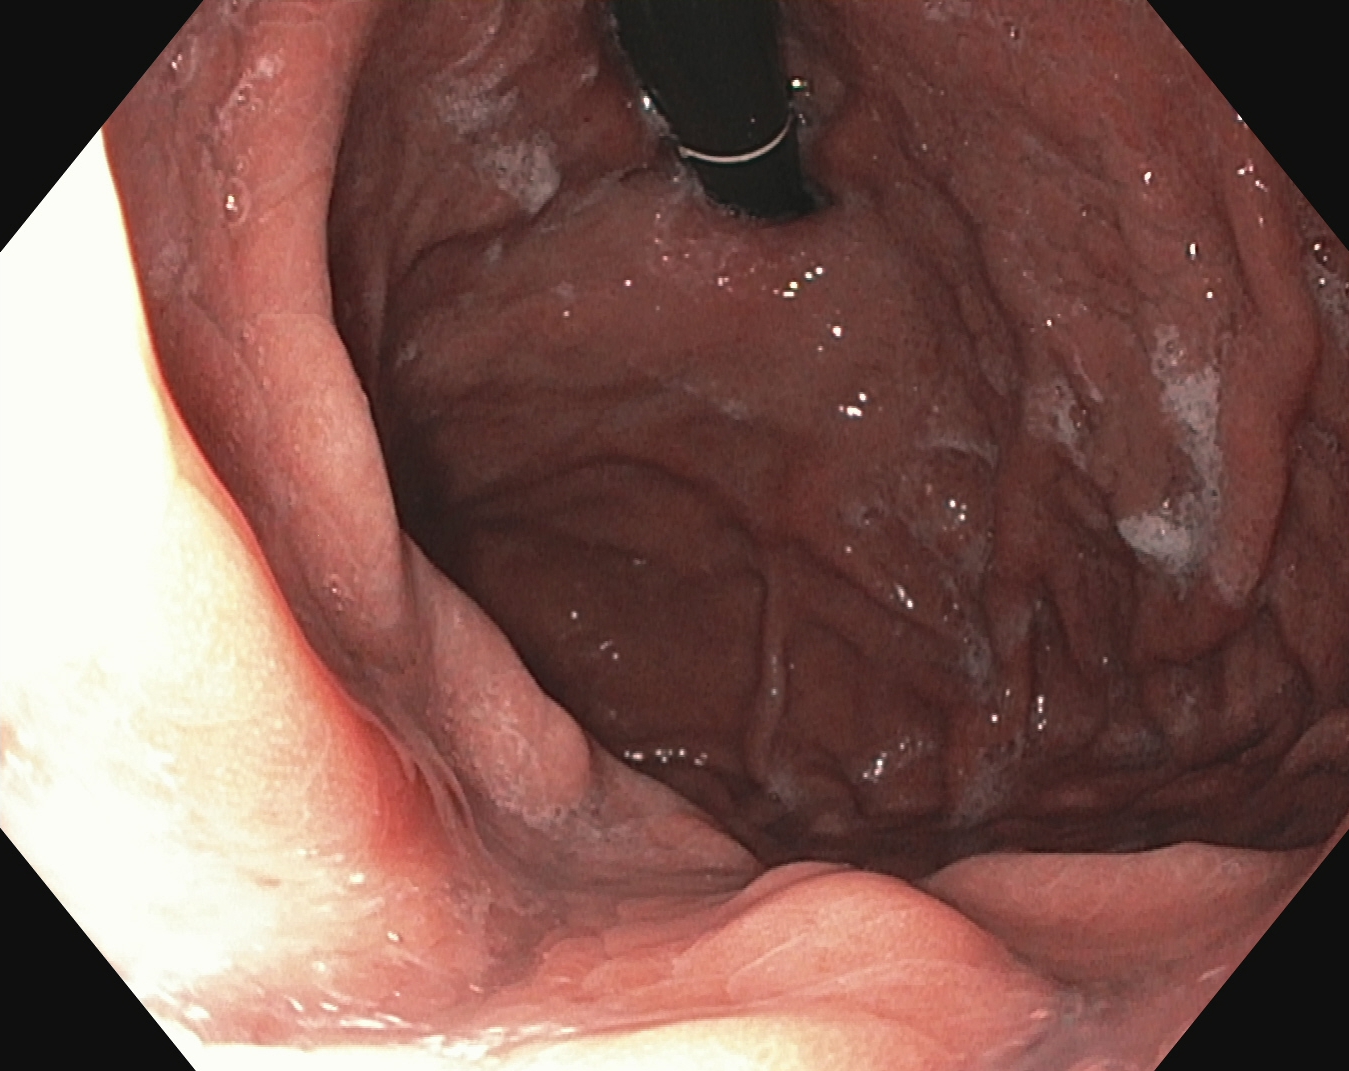This endoscopic image of the upper GI tract shows stomach in retroflexion.